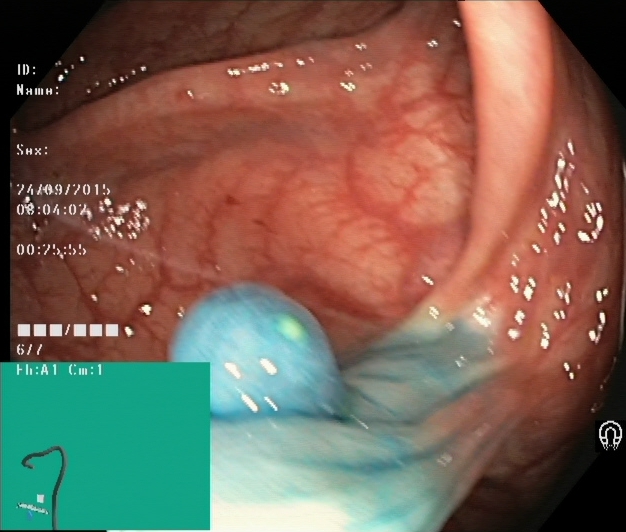PROCEDURE: Lower gastrointestinal endoscopy.
CATEGORY: Therapeutic intervention.
FINDINGS: Dyed and lifted polyp (pre-resection).